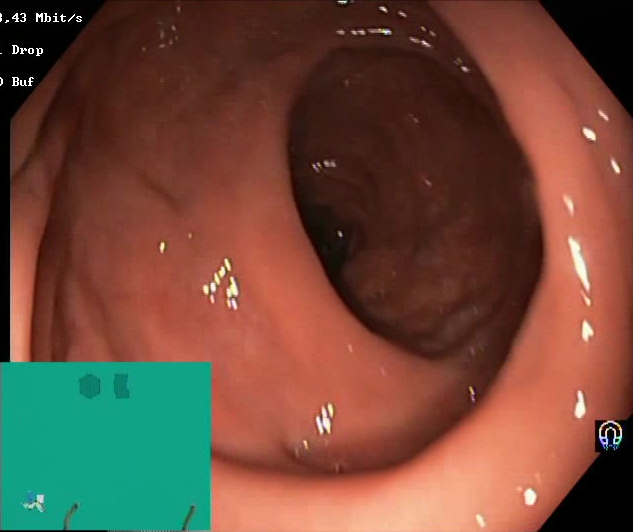Lower-GI endoscopy. Mucosal-view quality. Finding: Boston Bowel Preparation Scale score 2–3 (adequate preparation).